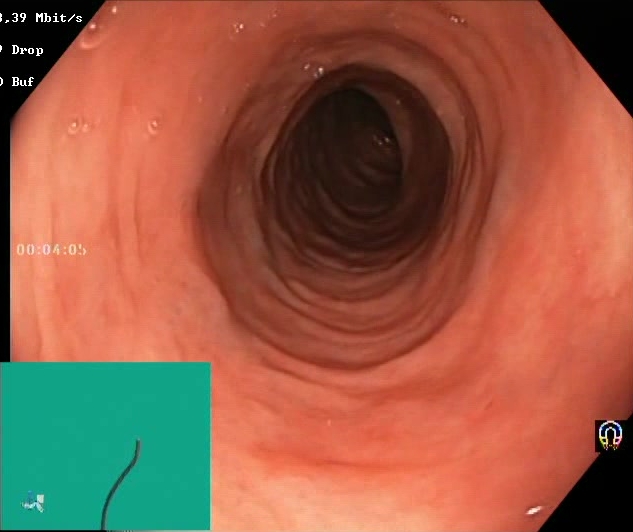Lower gastrointestinal endoscopy. Finding: BBPS score 2–3 (adequate preparation).